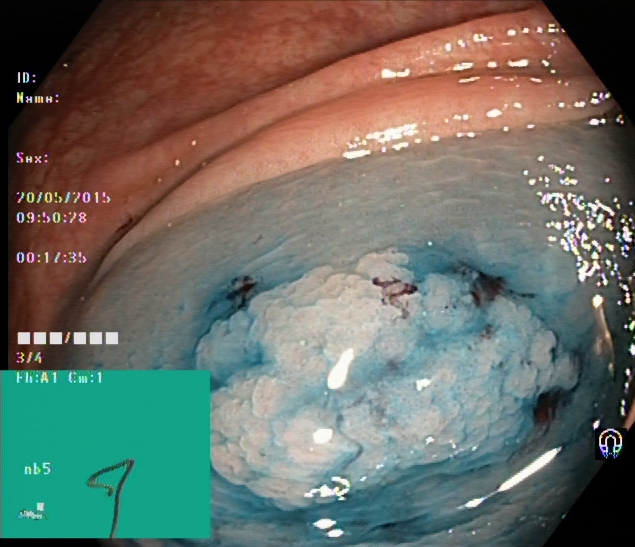This endoscopy frame of the lower GI tract shows dyed and lifted polyp (pre-resection).